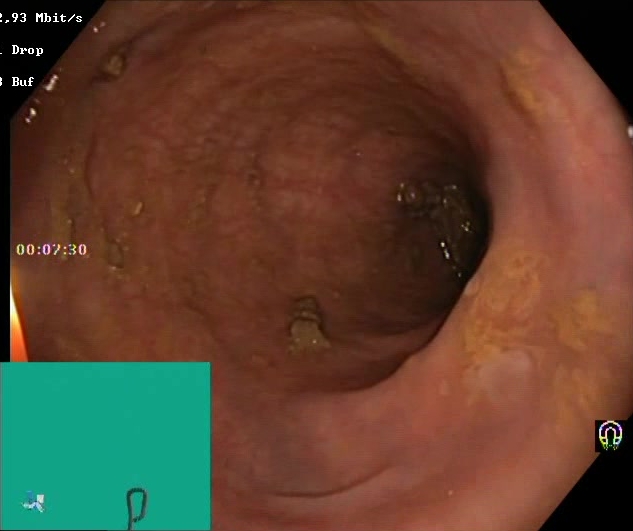Lower gastrointestinal endoscopy — BBPS score 2–3 (adequate preparation).